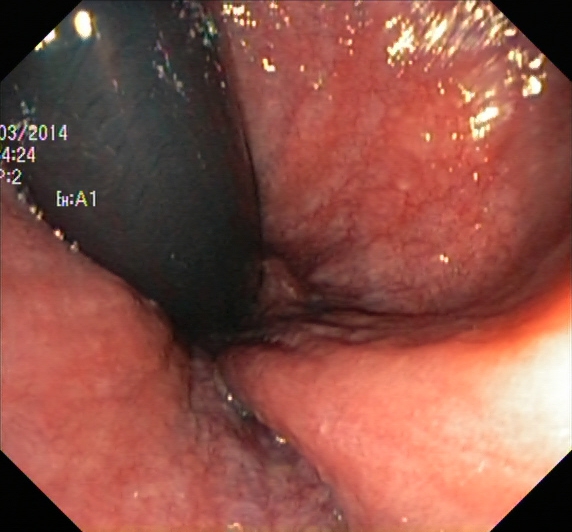Rectum in retroflexion.